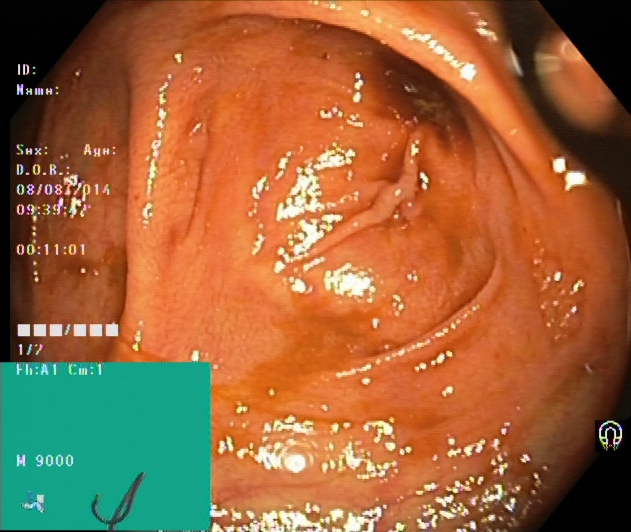Gastrointestinal endoscopy image of the lower GI tract showing cecum.